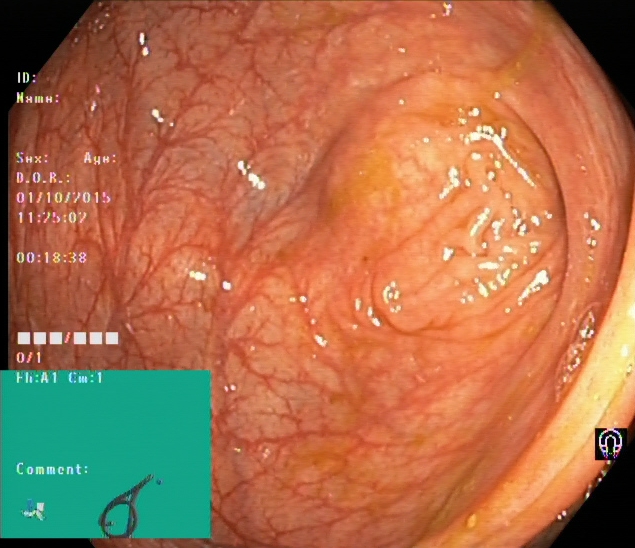{"modality": "lower gastrointestinal endoscopy", "tract": "lower GI tract", "finding": "cecum"}